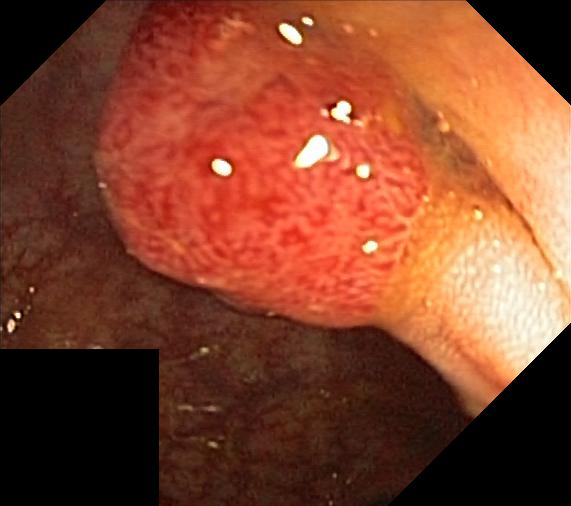Lower gastrointestinal endoscopy — colorectal polyp(s).